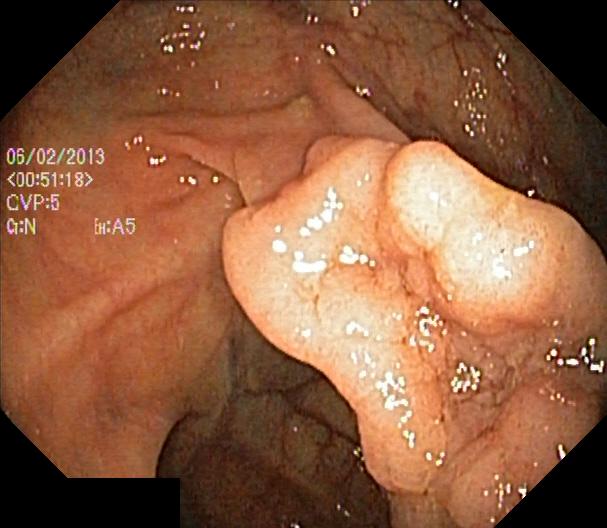modality: lower gastrointestinal endoscopy
tract: lower GI tract
category: pathological finding
finding: colorectal polyp(s)